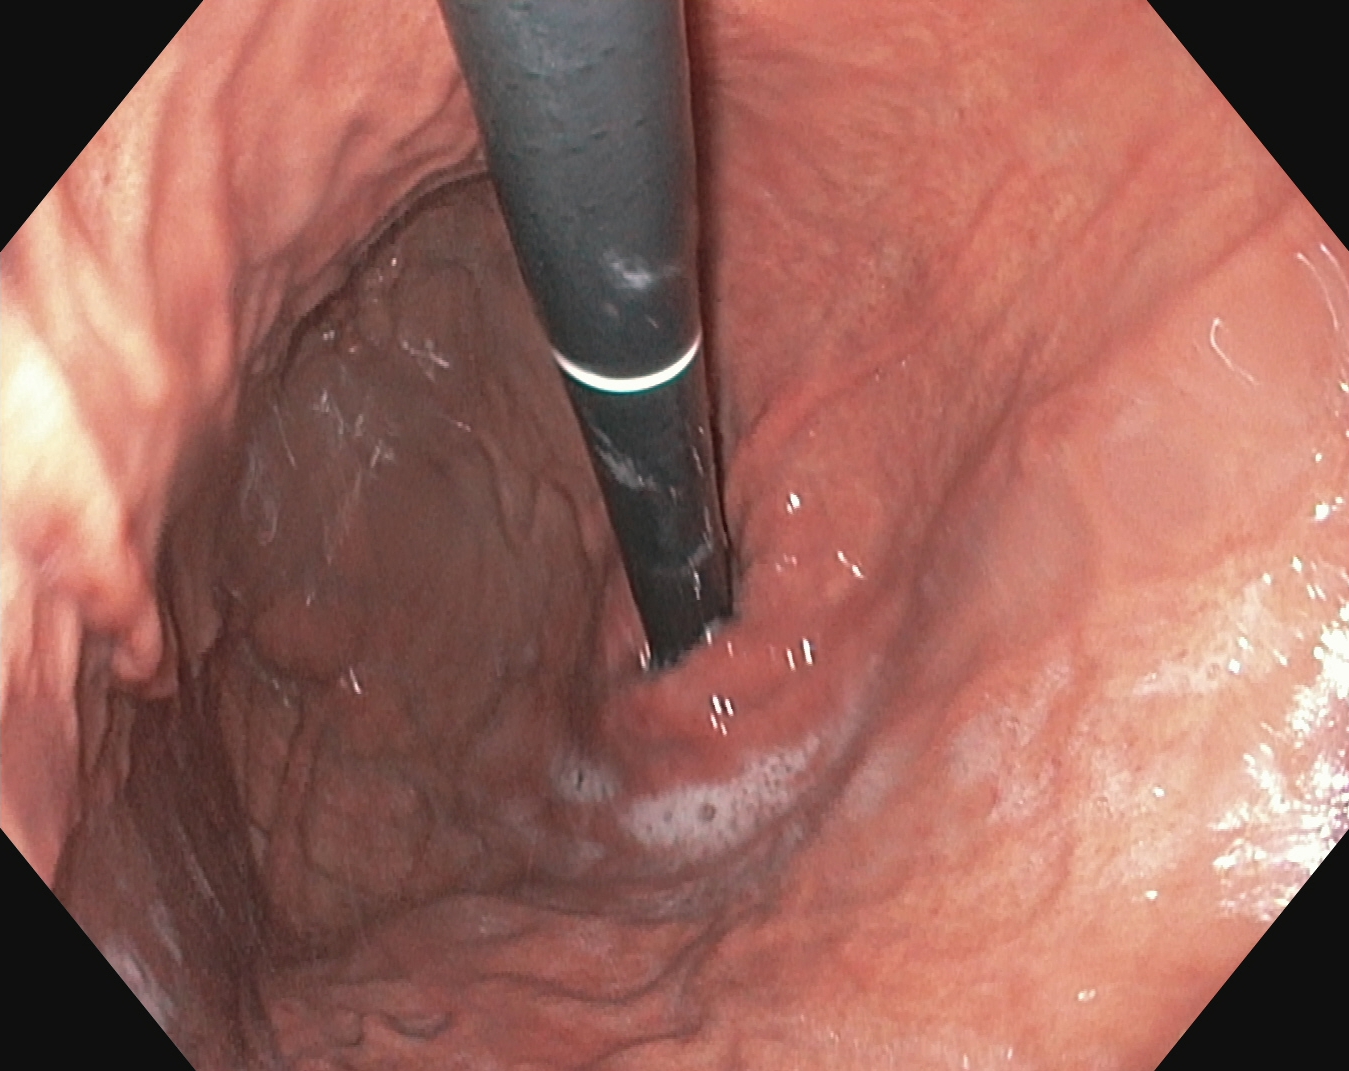{"modality": "upper-GI endoscopy", "tract": "upper GI tract", "finding": "stomach in retroflexion"}